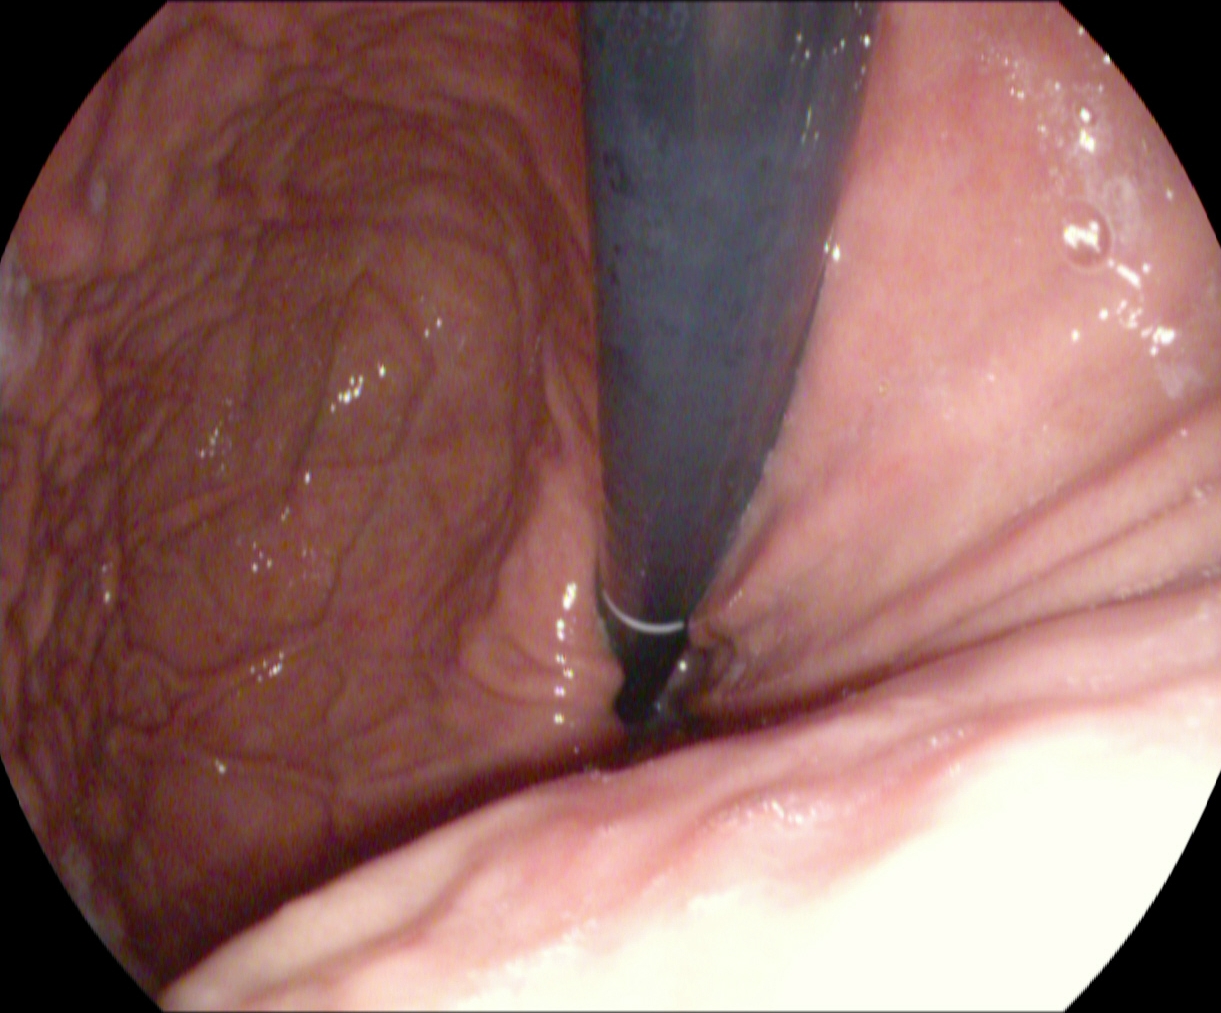Upper-GI endoscopy — stomach in retroflexion.